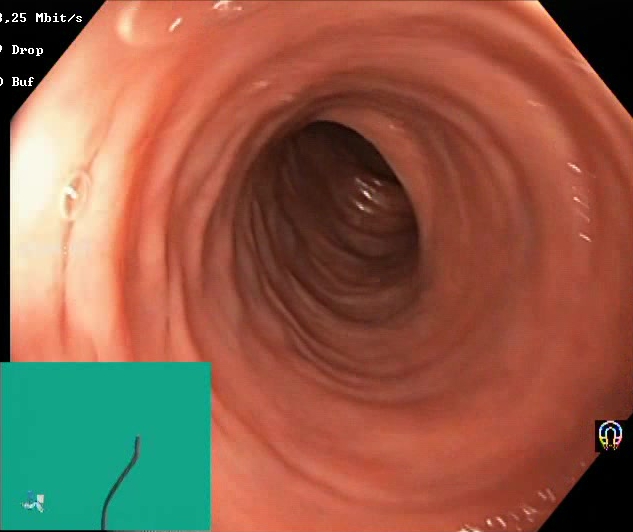GI endoscopy image of the lower GI tract showing Boston Bowel Preparation Scale score 2–3 (adequate preparation).